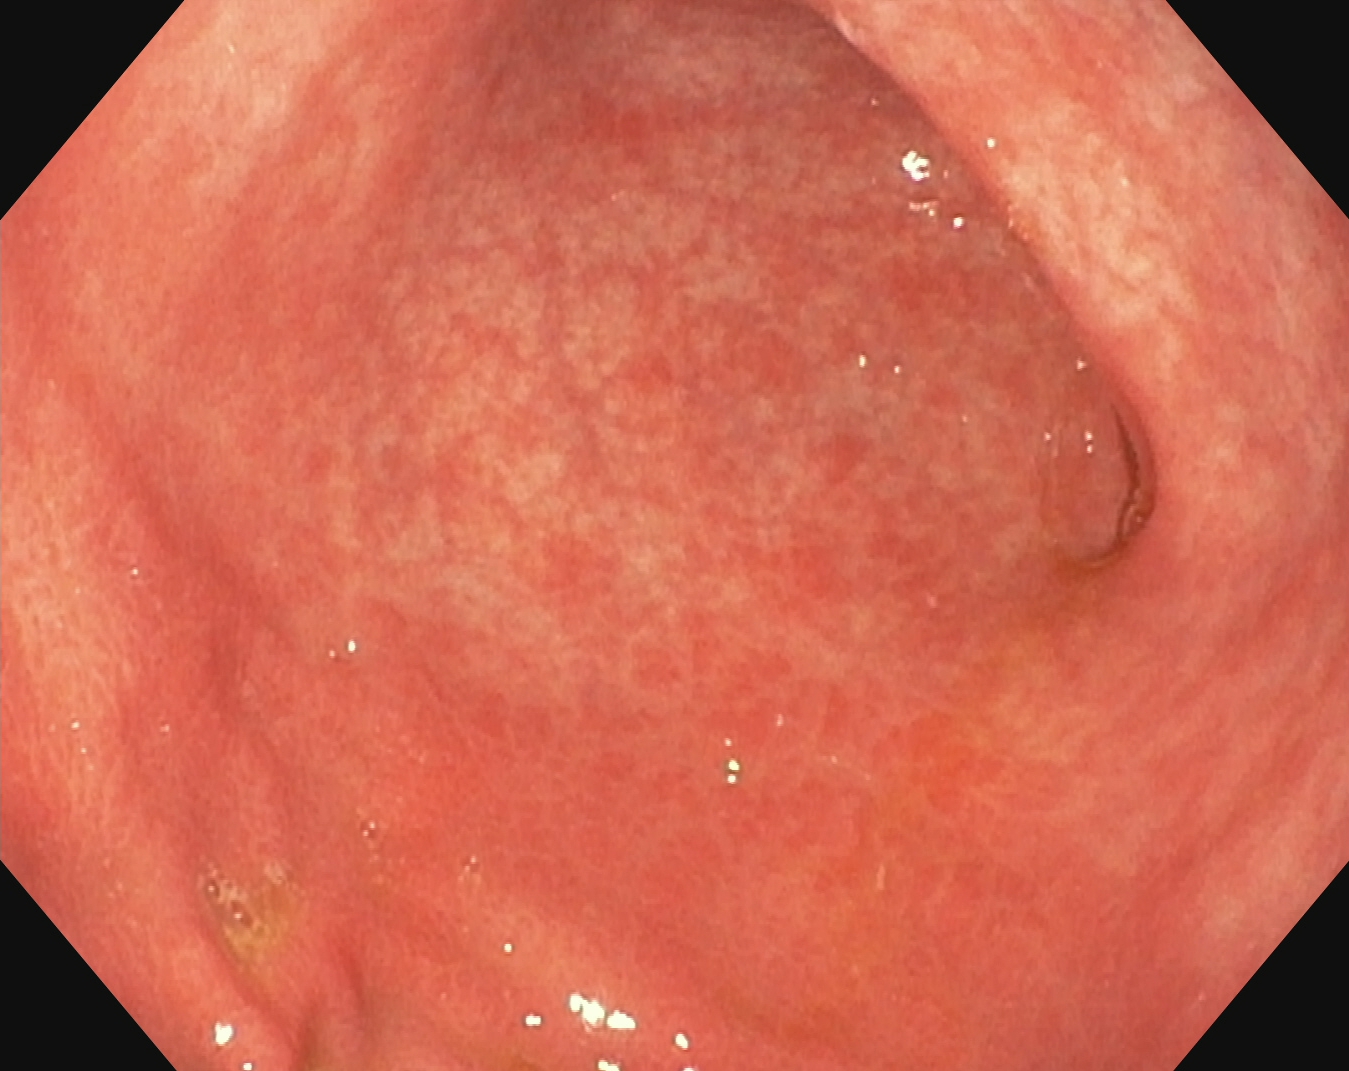Lower-GI endoscopy image of the lower GI tract showing ulcerative colitis, Mayo endoscopic subscore 1.